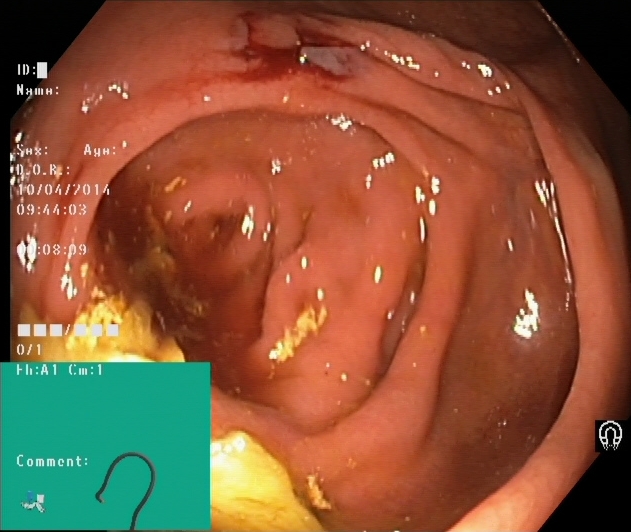Endoscopy image showing cecum.